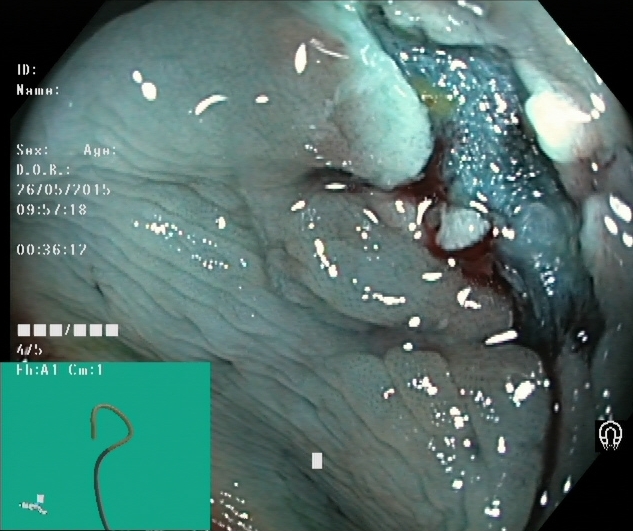PROCEDURE: Colonoscopy.
FINDINGS: Dyed resection margins (post-polypectomy).